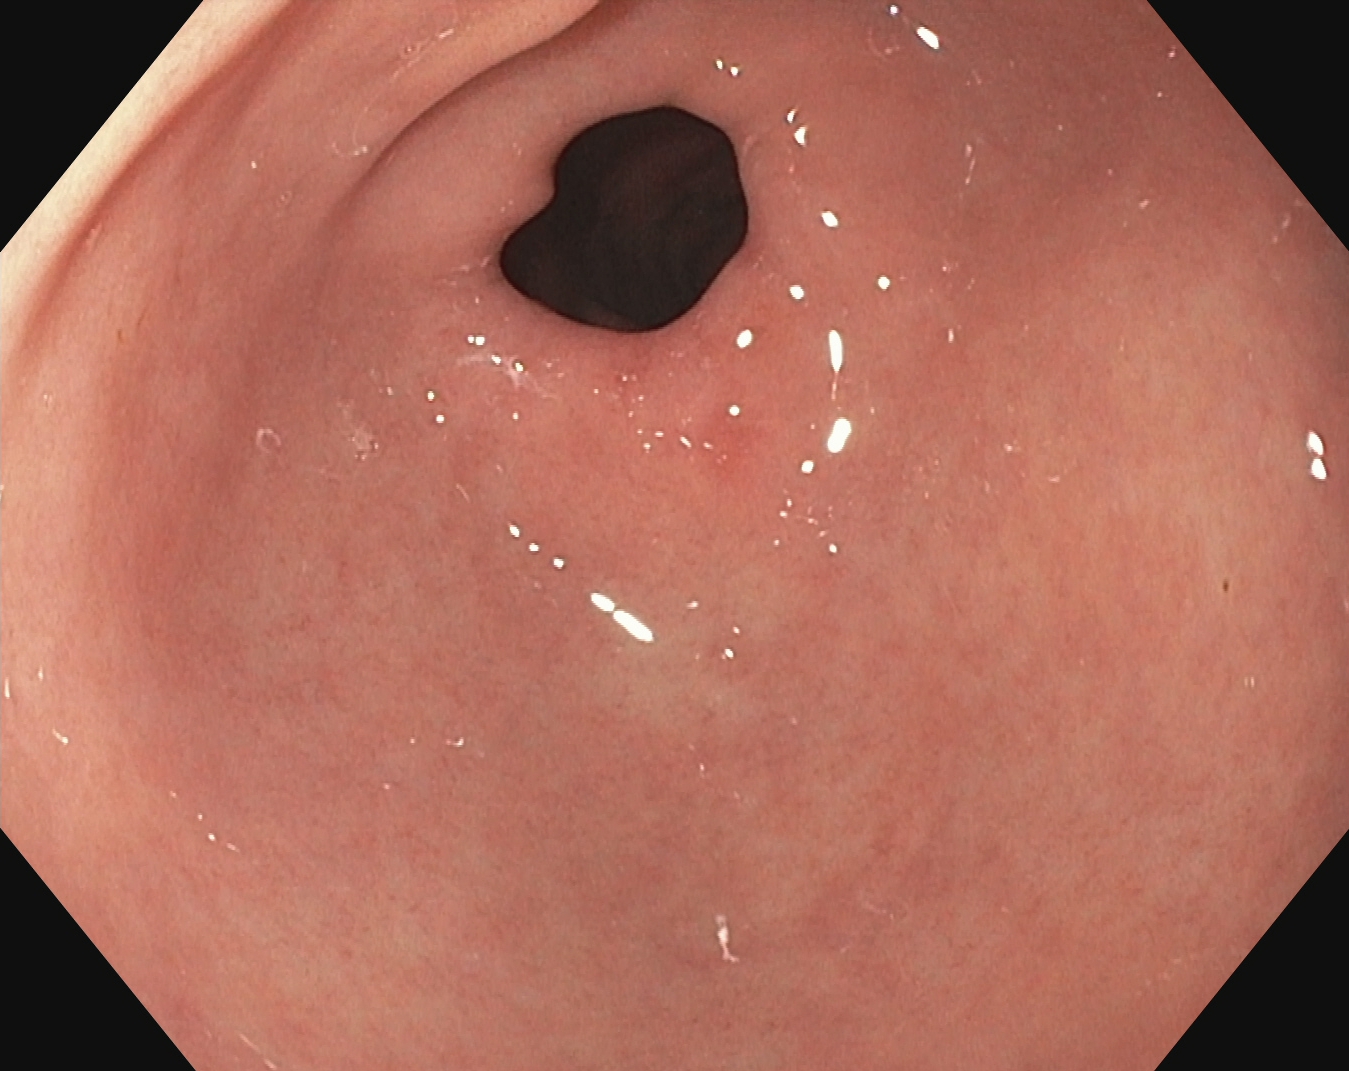{"modality": "upper-GI endoscopy", "tract": "upper GI tract", "finding": "pylorus"}